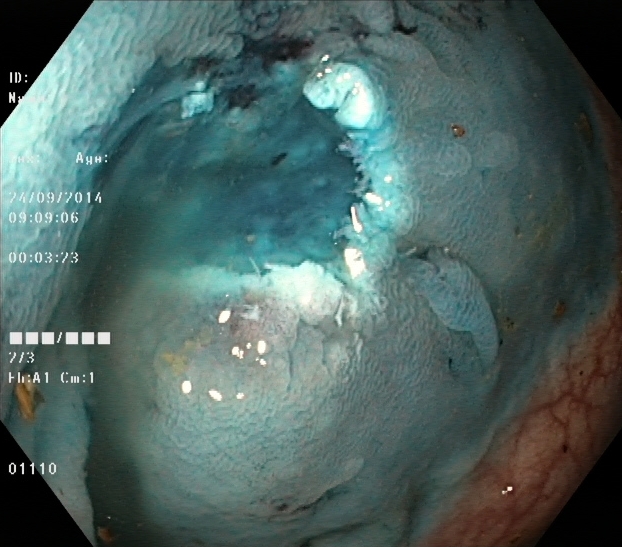Dyed resection margins (post-polypectomy).